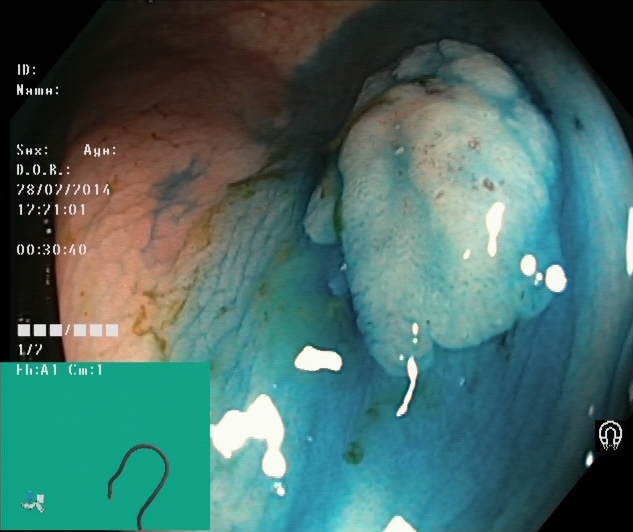PROCEDURE: Lower gastrointestinal endoscopy.
FINDINGS: Dyed and lifted polyp (pre-resection).